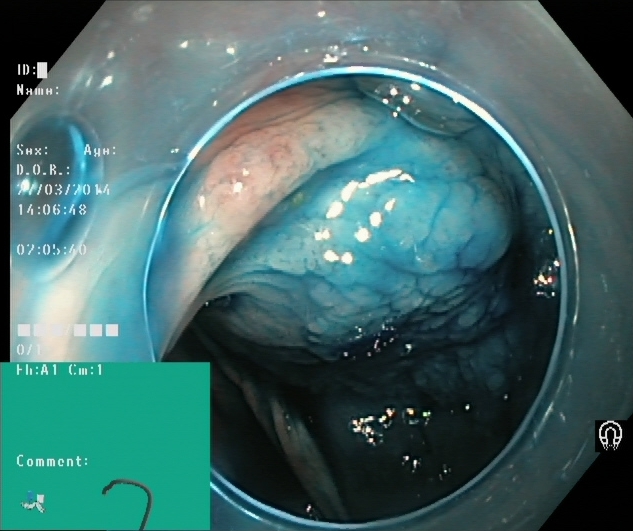This endoscopic image of the lower GI tract shows dyed and lifted polyp (pre-resection).